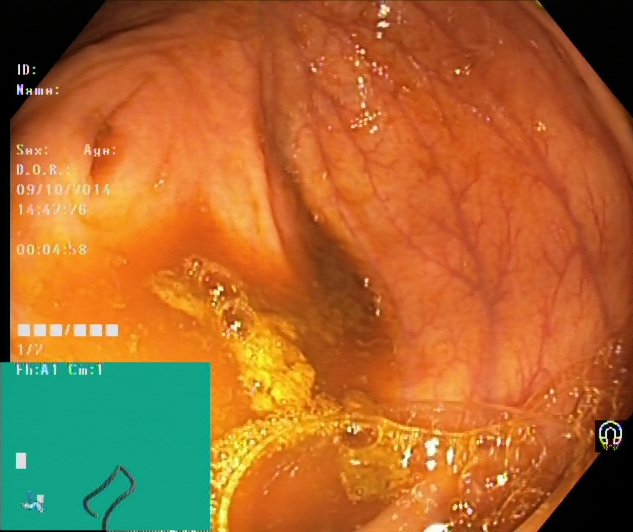PROCEDURE: Colonoscopy.
FINDINGS: Cecum.